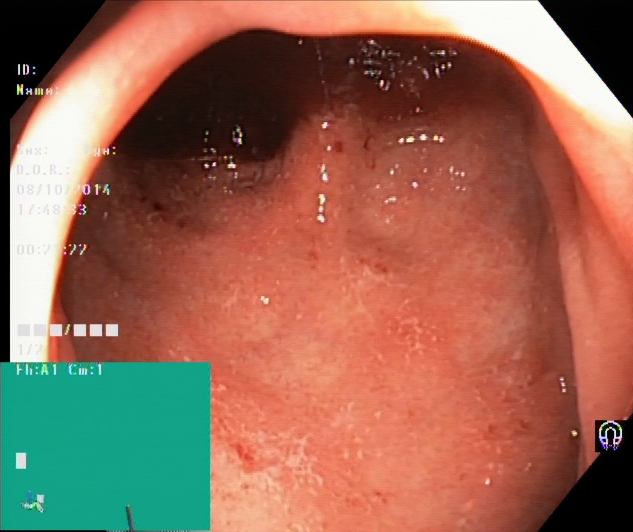Colonoscopy. Tract: lower GI tract. Finding: UC, Mayo endoscopic subscore 2.